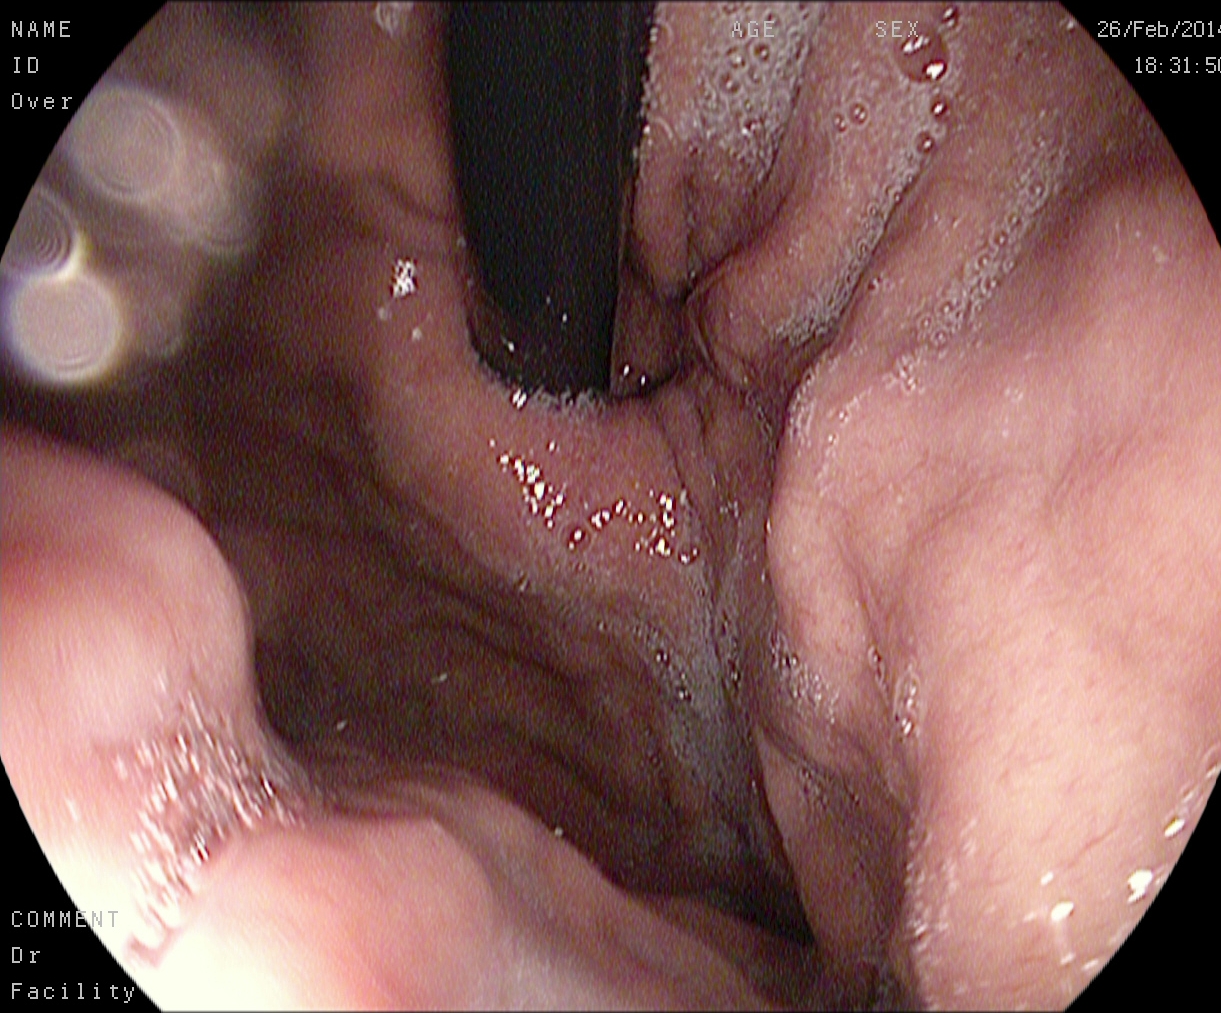Stomach in retroflexion.